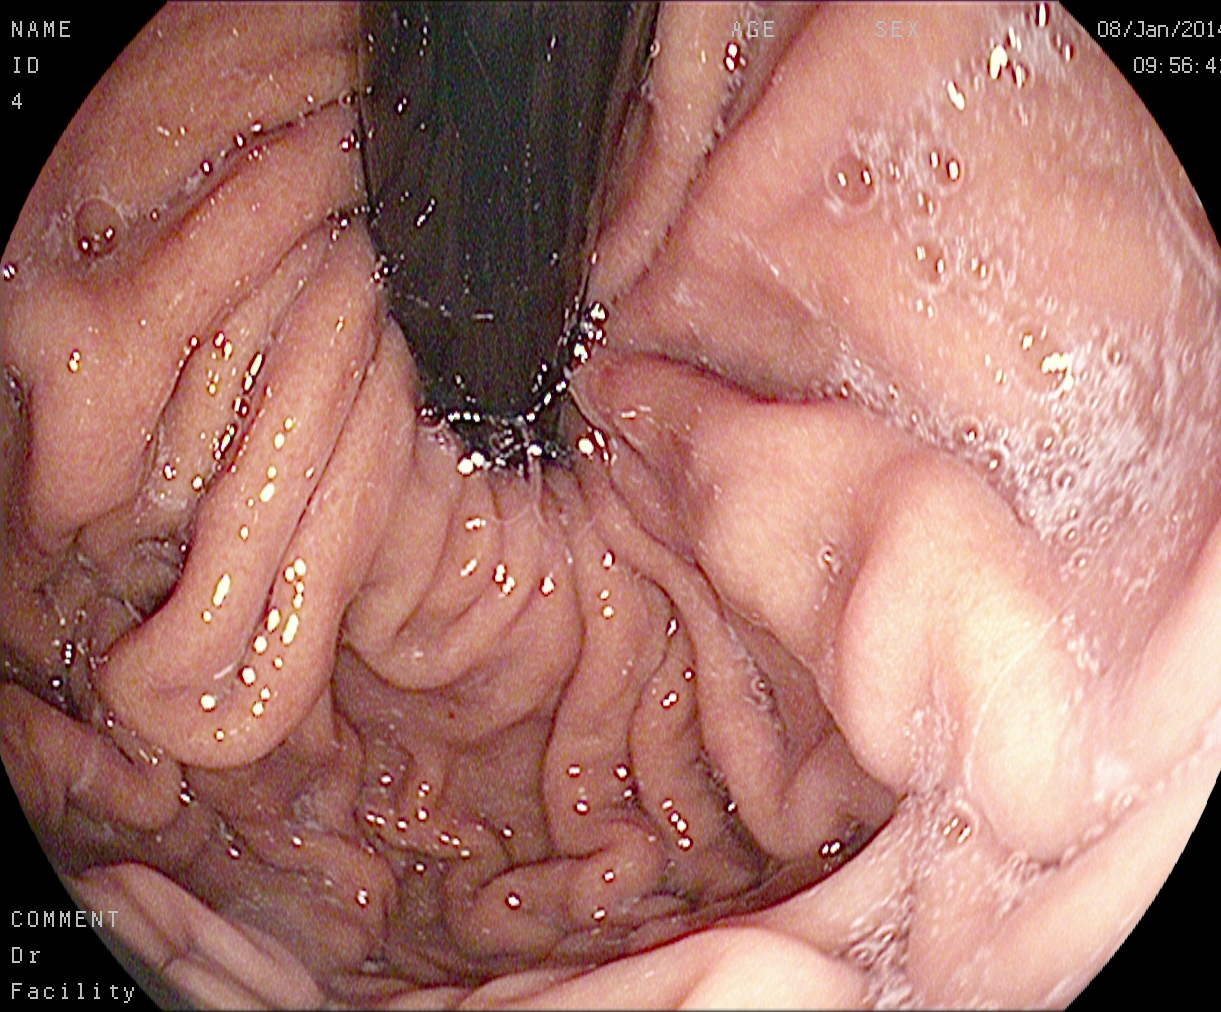Esophagogastroduodenoscopy. Tract: upper GI tract. Anatomical landmark. Finding: stomach in retroflexion.